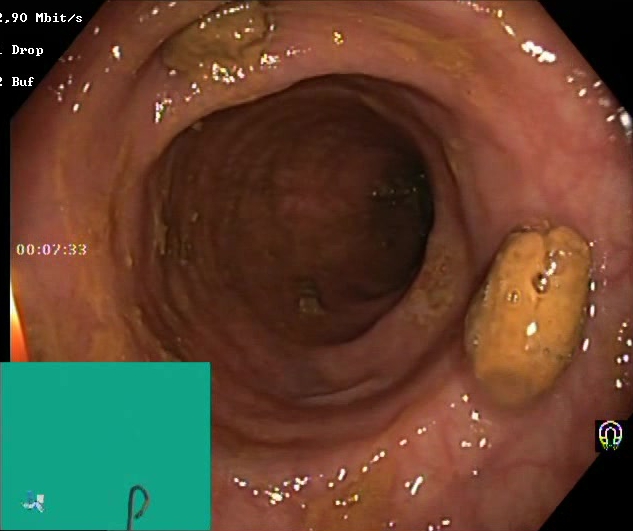This endoscopic image of the lower GI tract shows impacted stool.